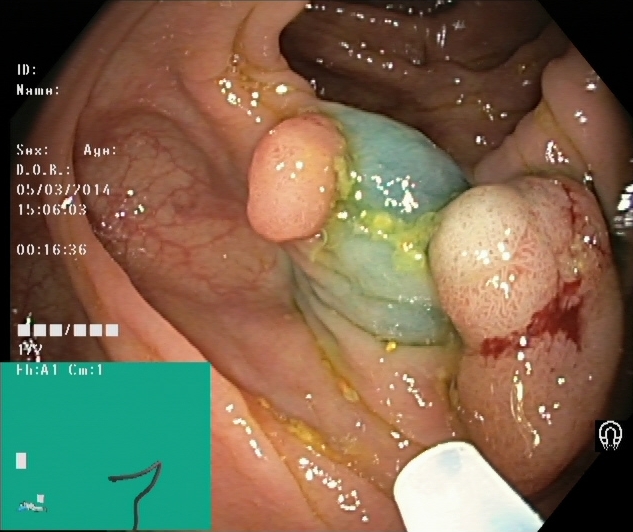This endoscopic image shows dyed and lifted polyp (pre-resection).